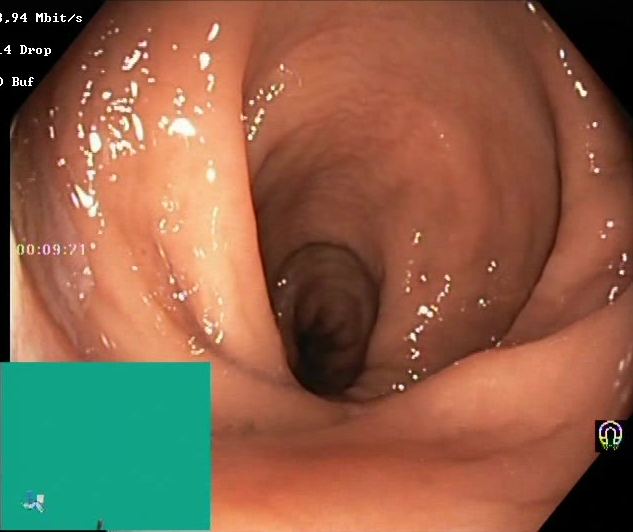{"modality": "lower-GI endoscopy", "category": "mucosal-view quality", "finding": "Boston Bowel Preparation Scale score 2\u20133 (adequate preparation)"}